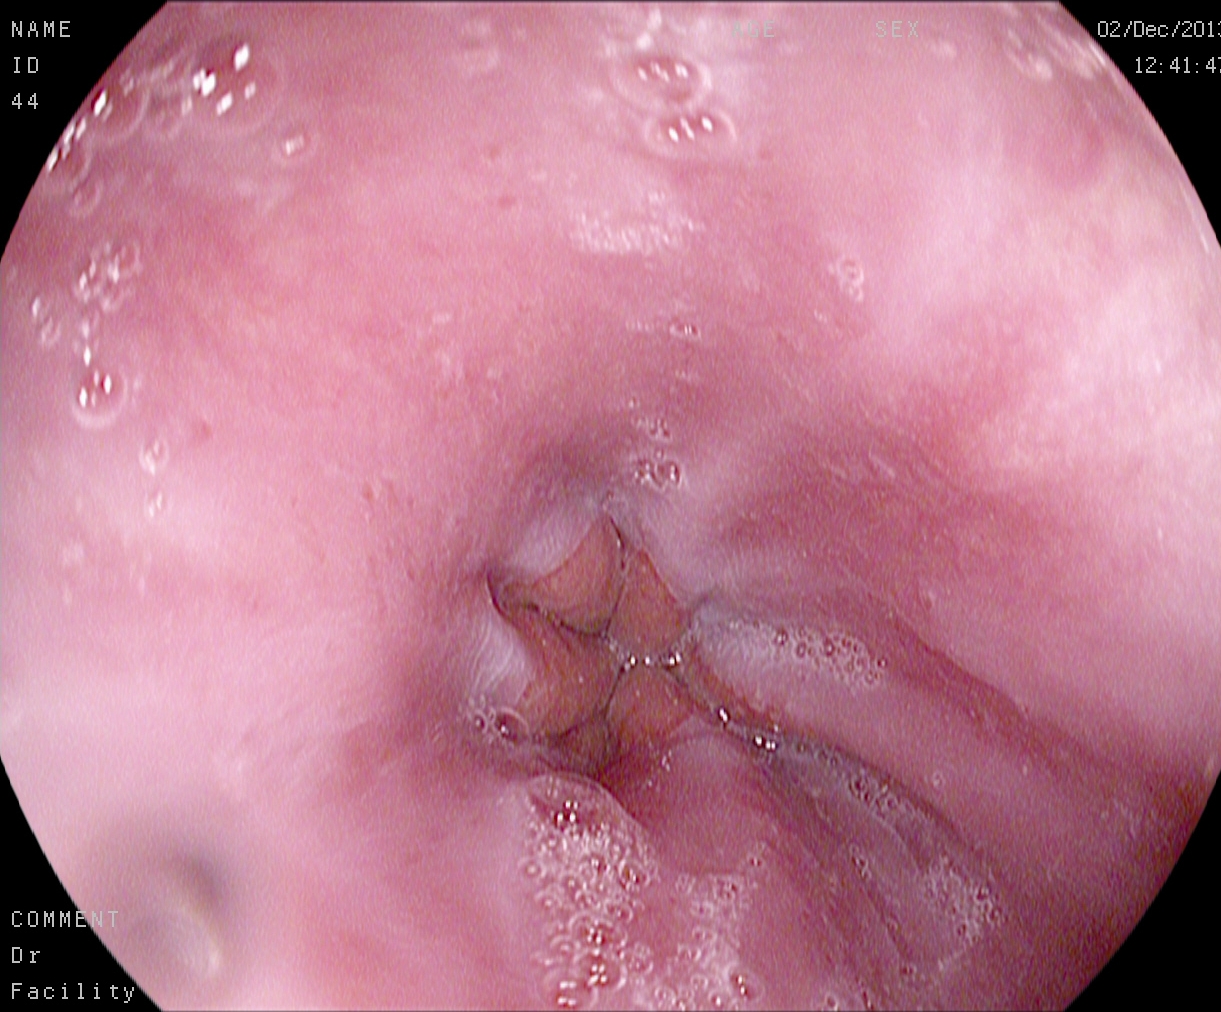Gastroscopy. Tract: upper GI tract. Finding: Z-line (gastroesophageal junction).